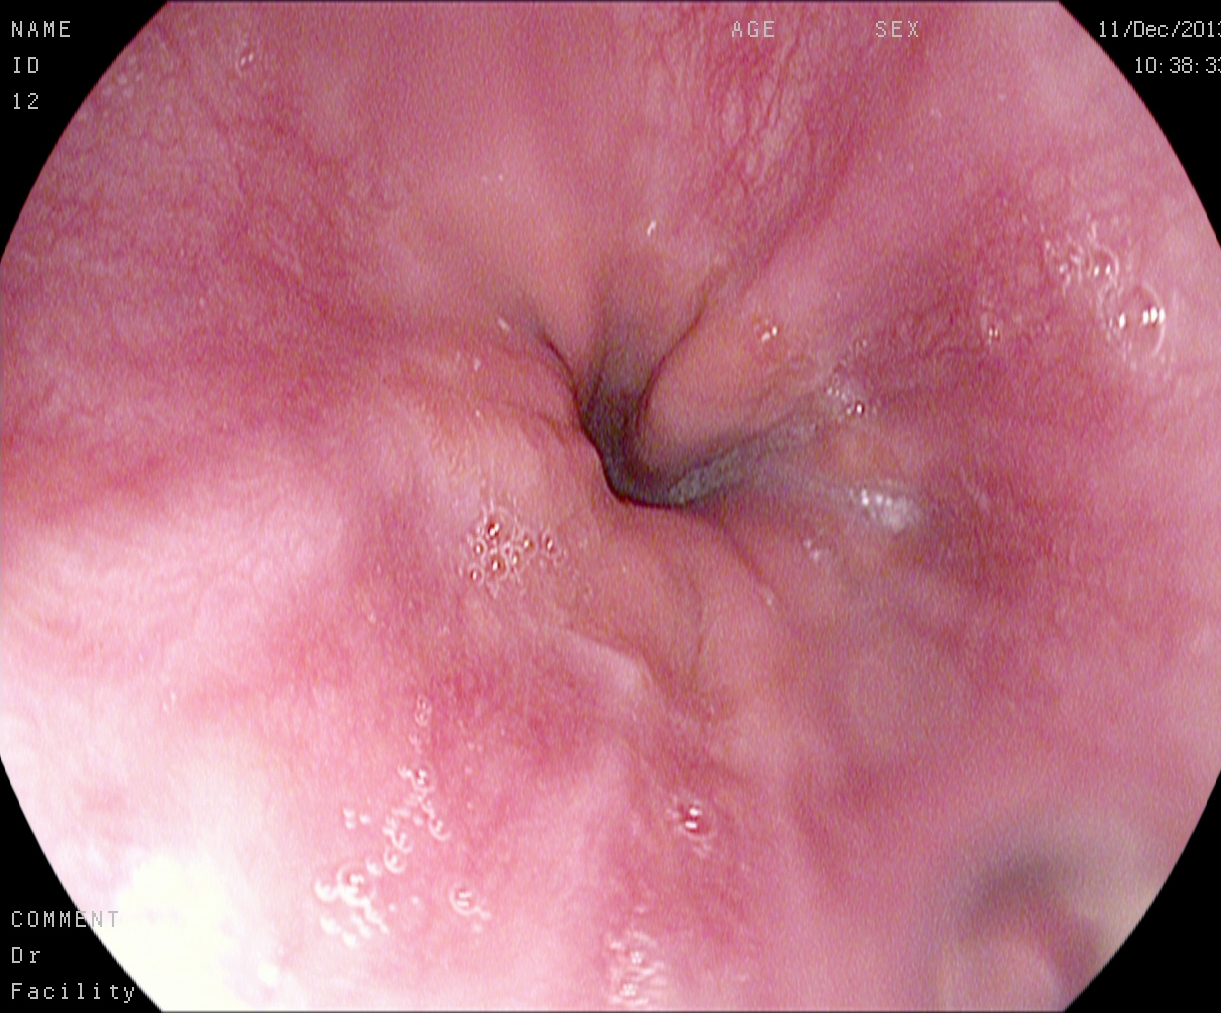EGD image of the upper GI tract showing Z-line (gastroesophageal junction).